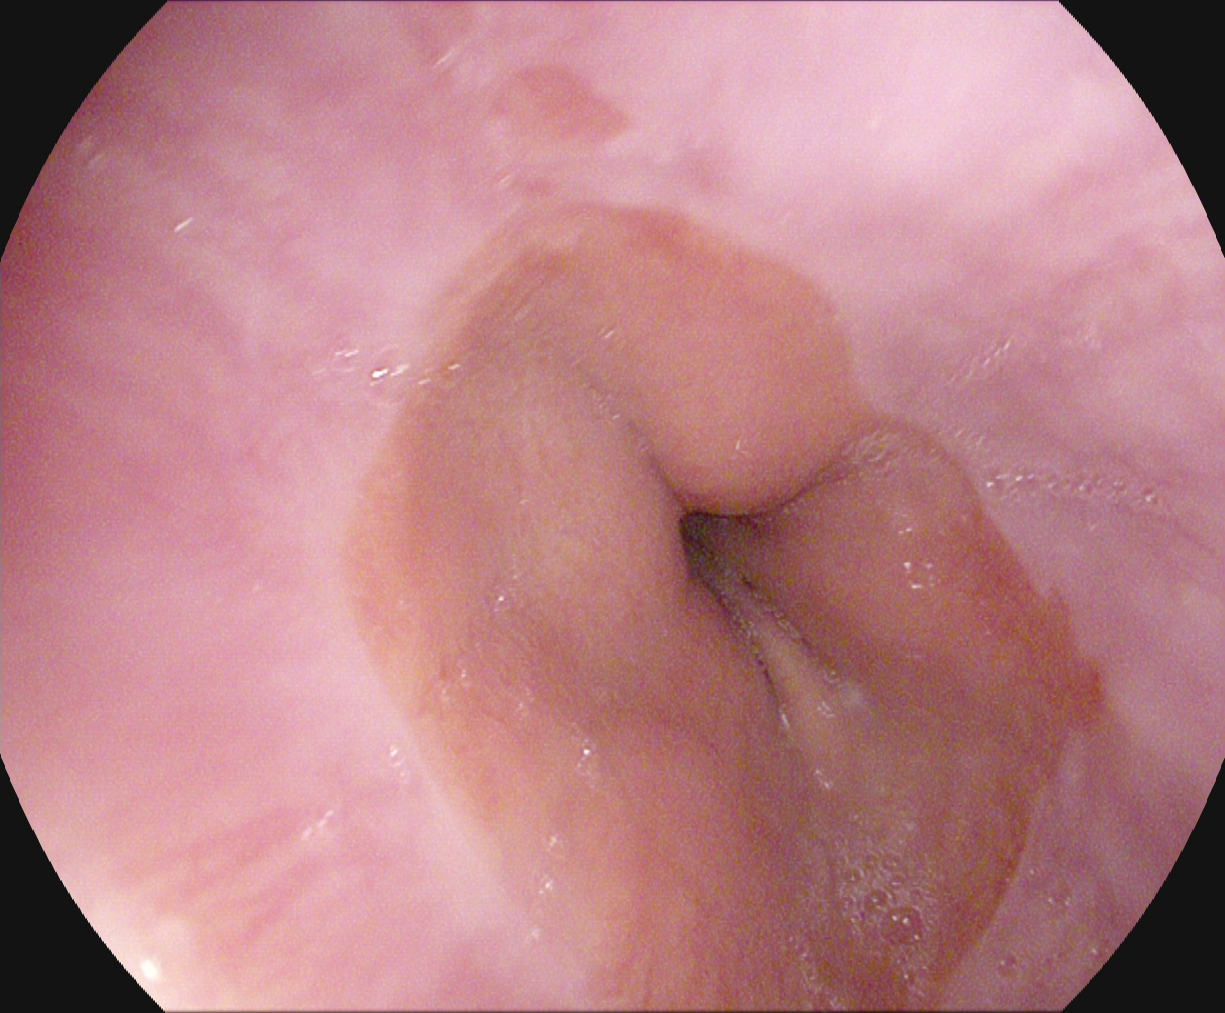Upper-GI endoscopy — Z-line (gastroesophageal junction).